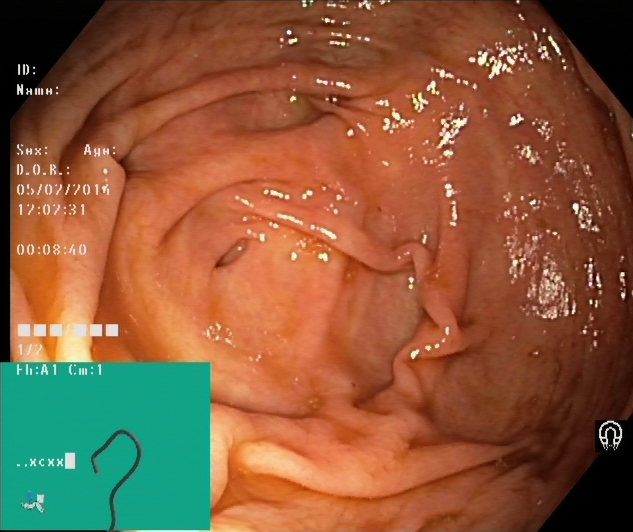Lower gastrointestinal endoscopy — cecum.